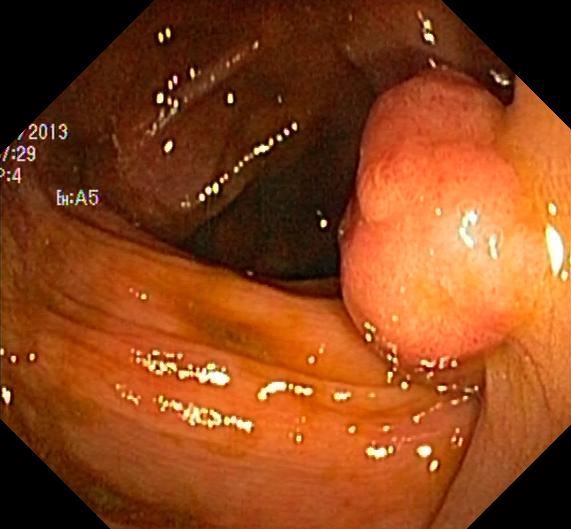This endoscopy frame of the lower GI tract shows colorectal polyp(s).